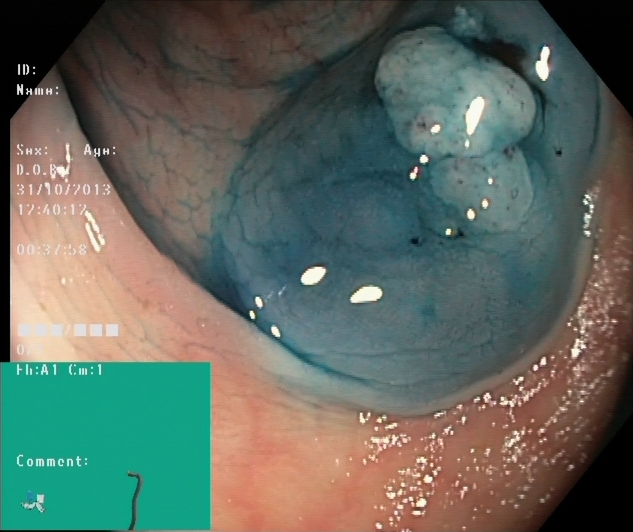modality: colonoscopy
tract: lower GI tract
category: therapeutic intervention
finding: dyed and lifted polyp (pre-resection)